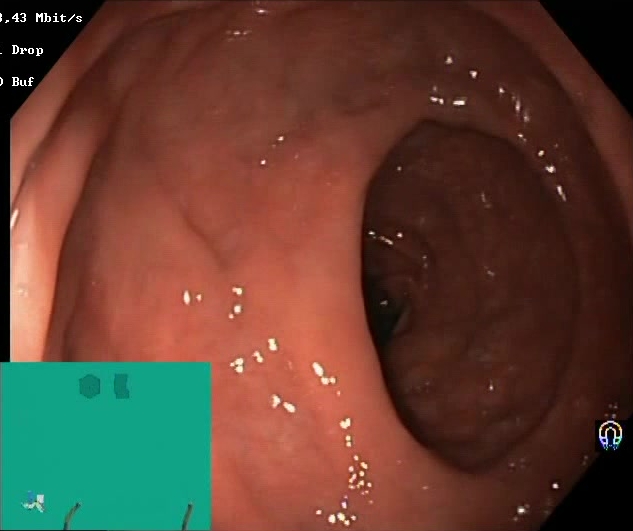modality: colonoscopy
tract: lower GI tract
finding: Boston Bowel Preparation Scale score 2–3 (adequate preparation)